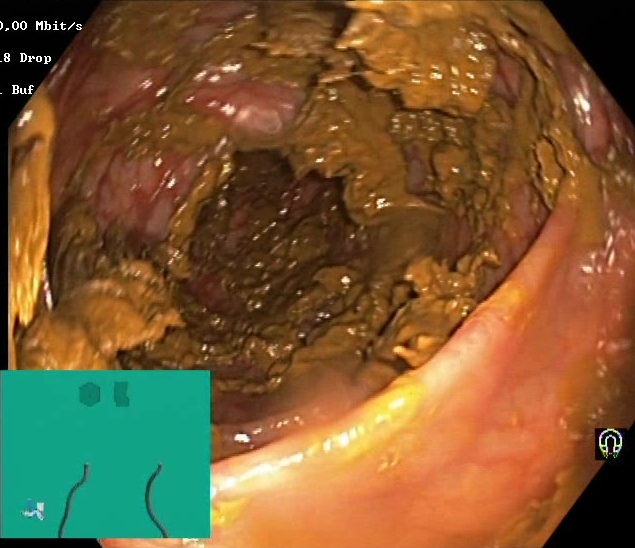PROCEDURE: Colonoscopy.
FINDINGS: BBPS score 0–1 (inadequate preparation).